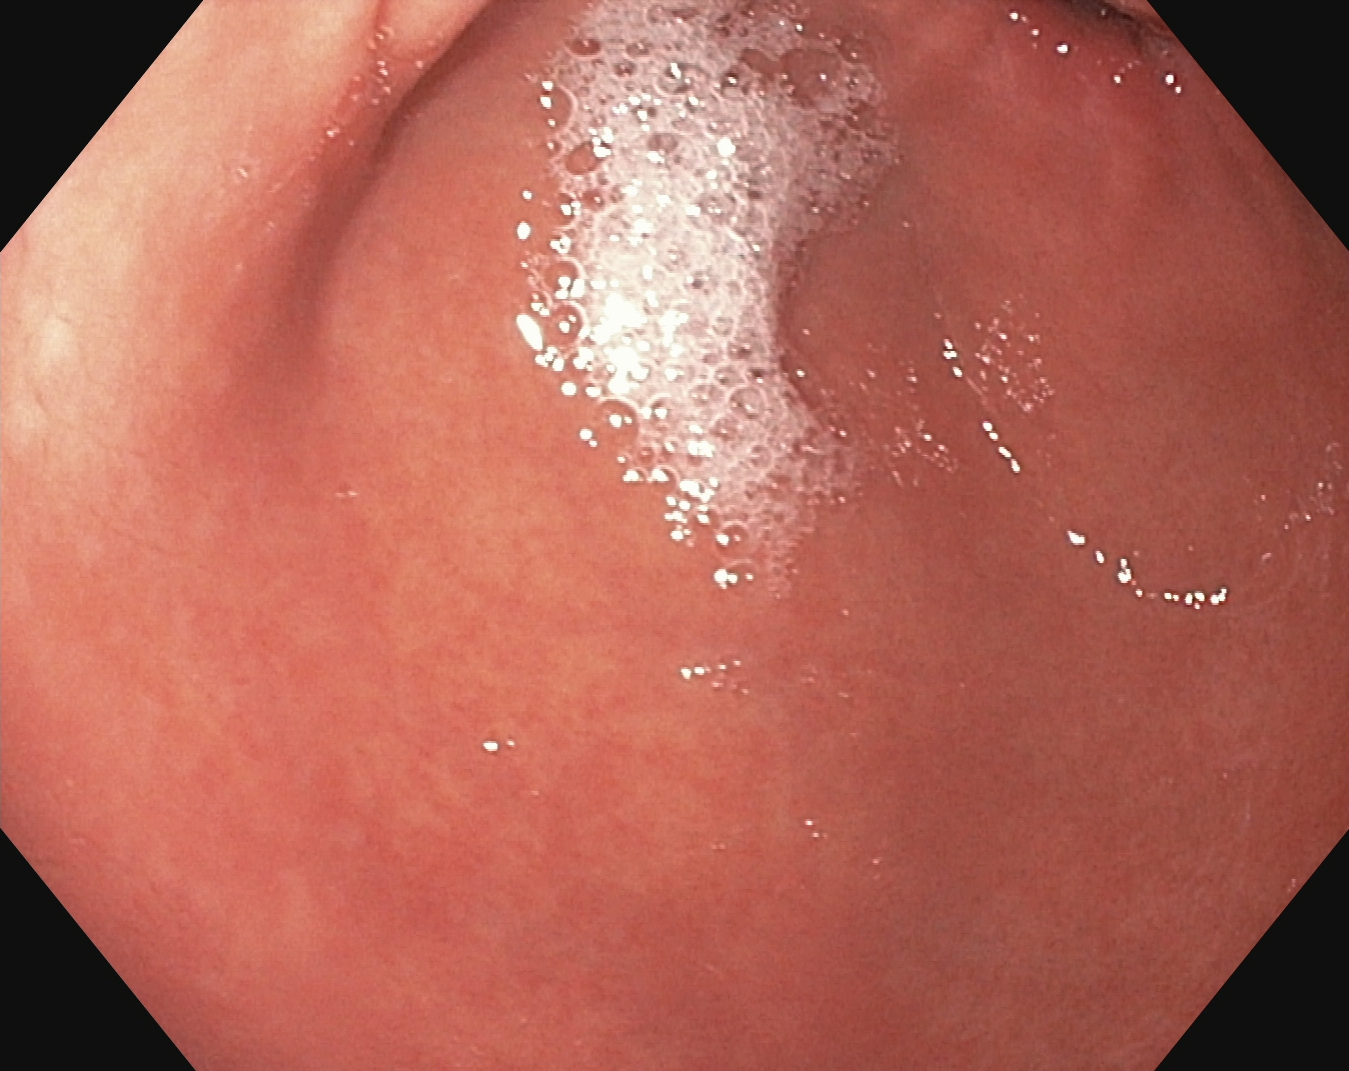Pylorus.